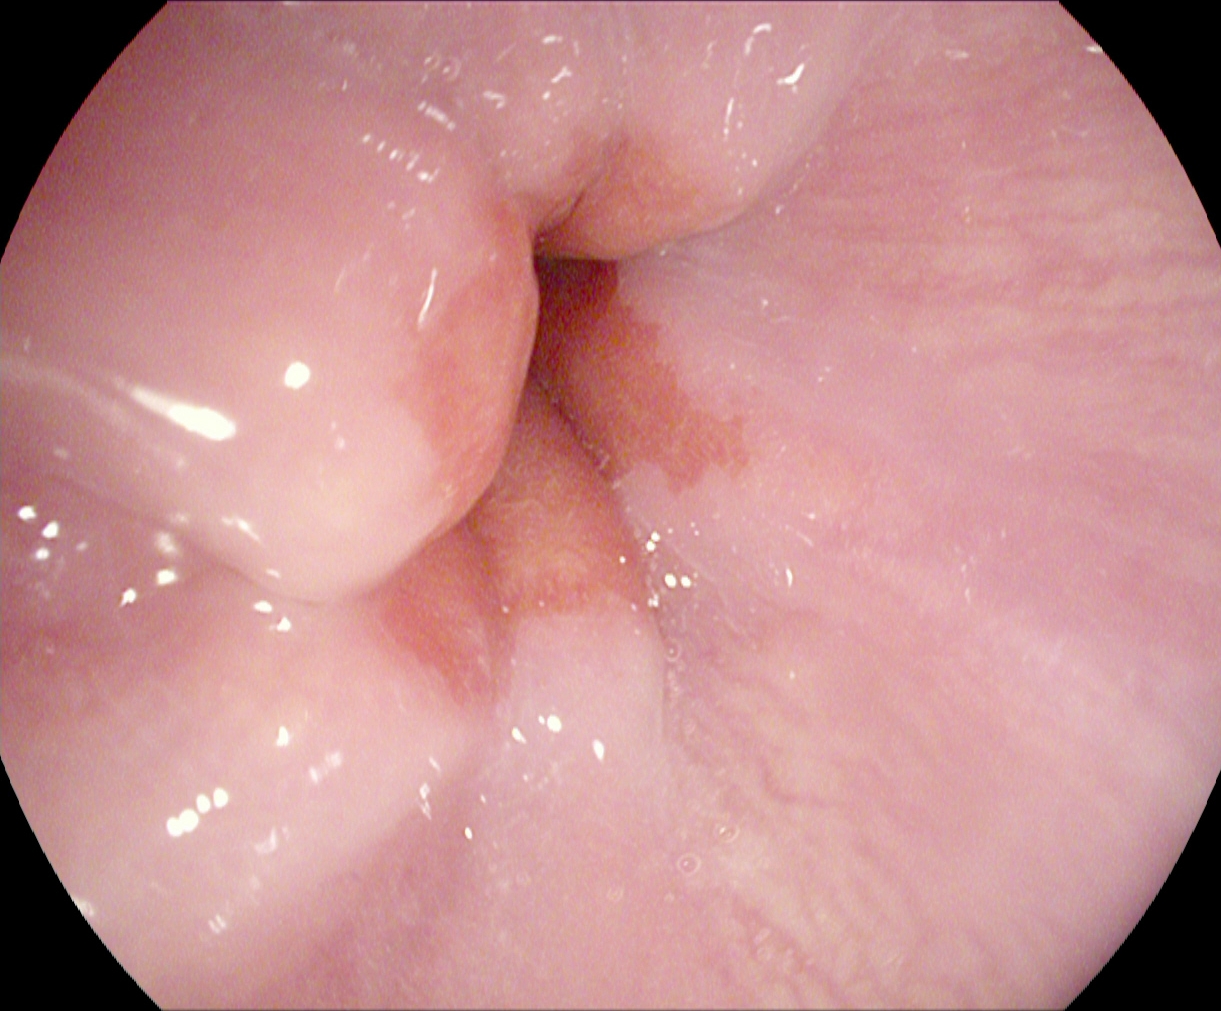modality: gastroscopy; finding: Z-line (gastroesophageal junction)